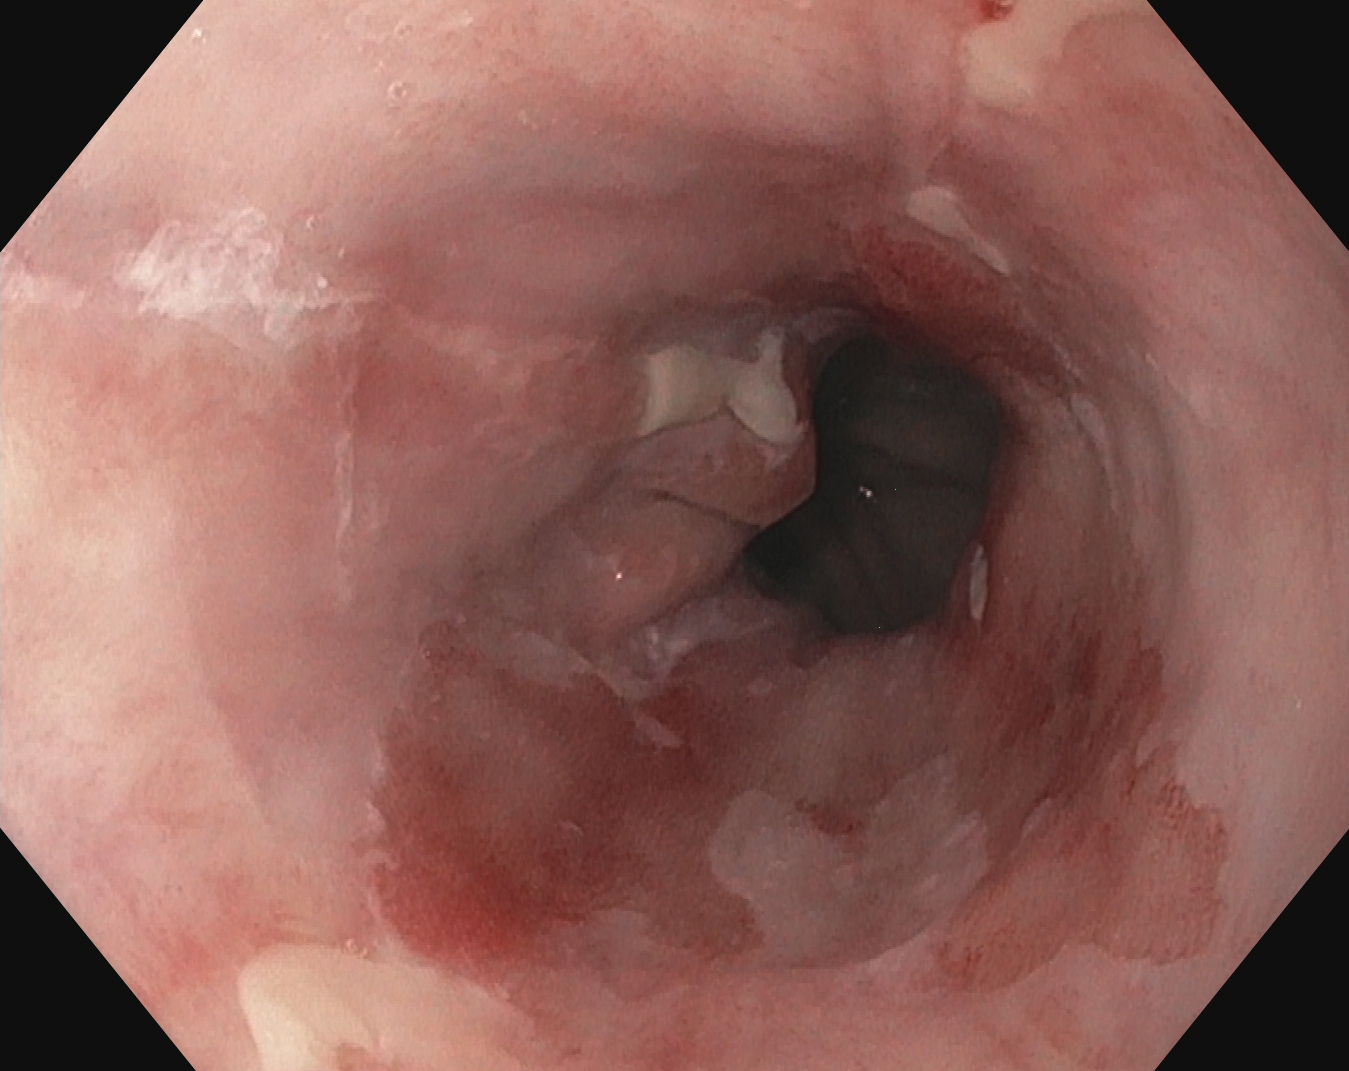Upper-GI endoscopy. Tract: upper GI tract. Pathological finding. Finding: reflux esophagitis, Los Angeles grade B–D.